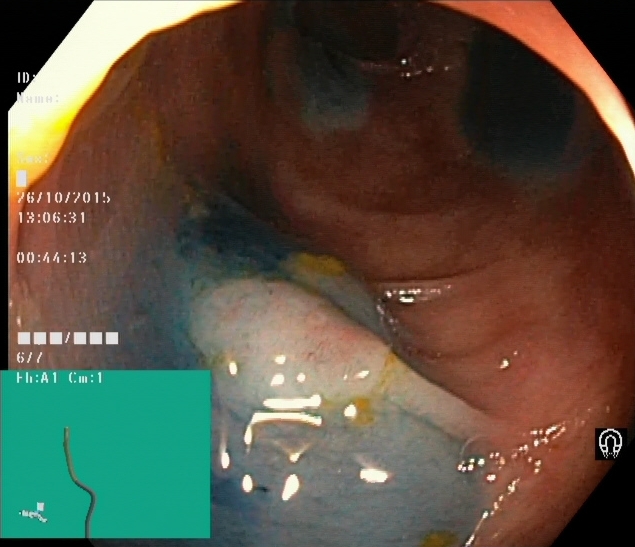PROCEDURE: Lower gastrointestinal endoscopy.
FINDINGS: Dyed and lifted polyp (pre-resection).